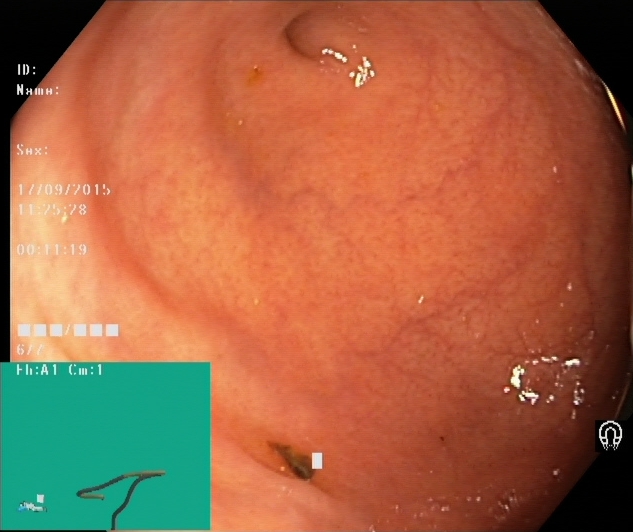Cecum.